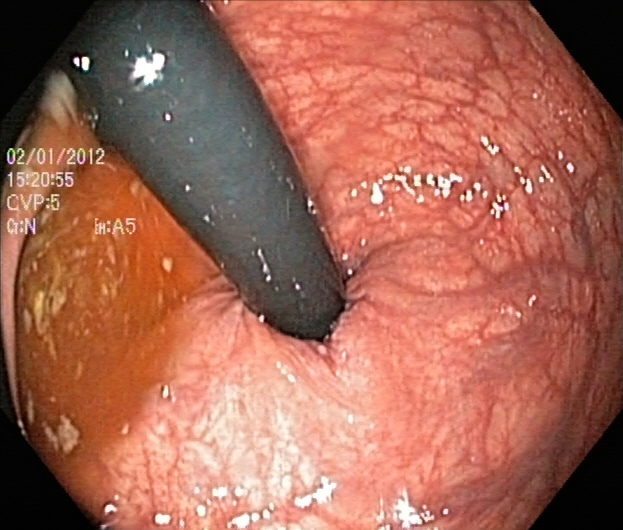{"modality": "lower-GI endoscopy", "category": "anatomical landmark", "finding": "rectum in retroflexion"}